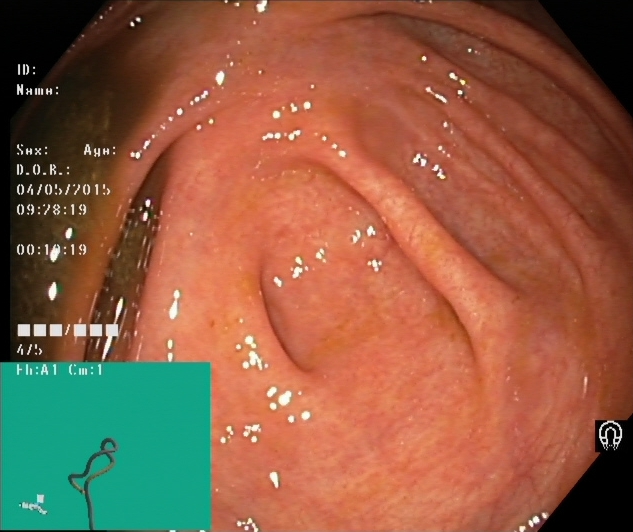Cecum.